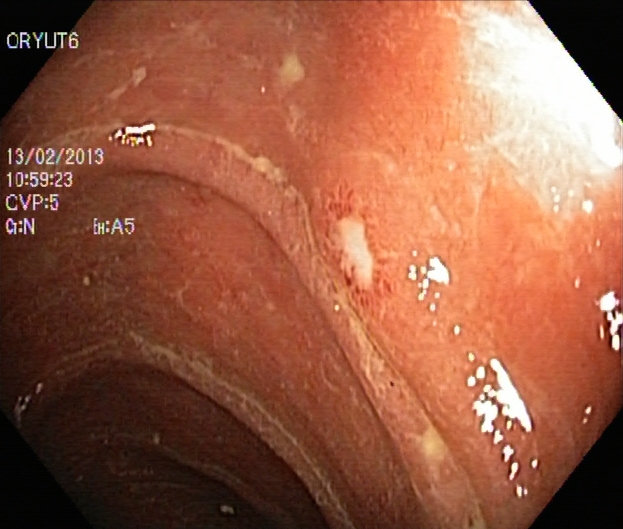Lower-GI endoscopy image of the lower GI tract showing UC, Mayo endoscopic subscore 2–3.